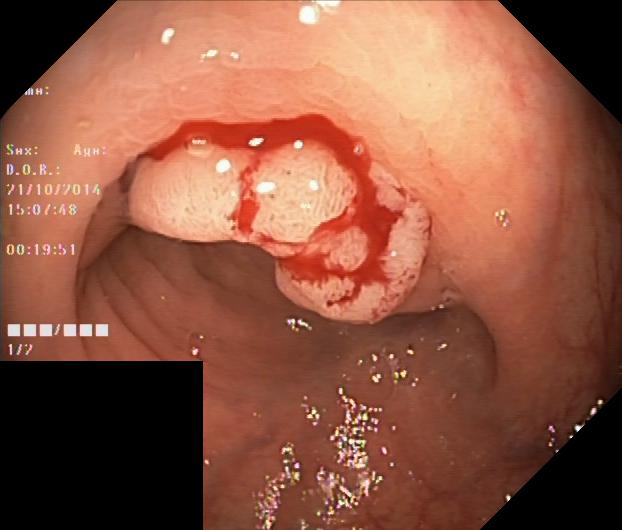PROCEDURE: Lower gastrointestinal endoscopy.
FINDINGS: Colorectal polyp(s).